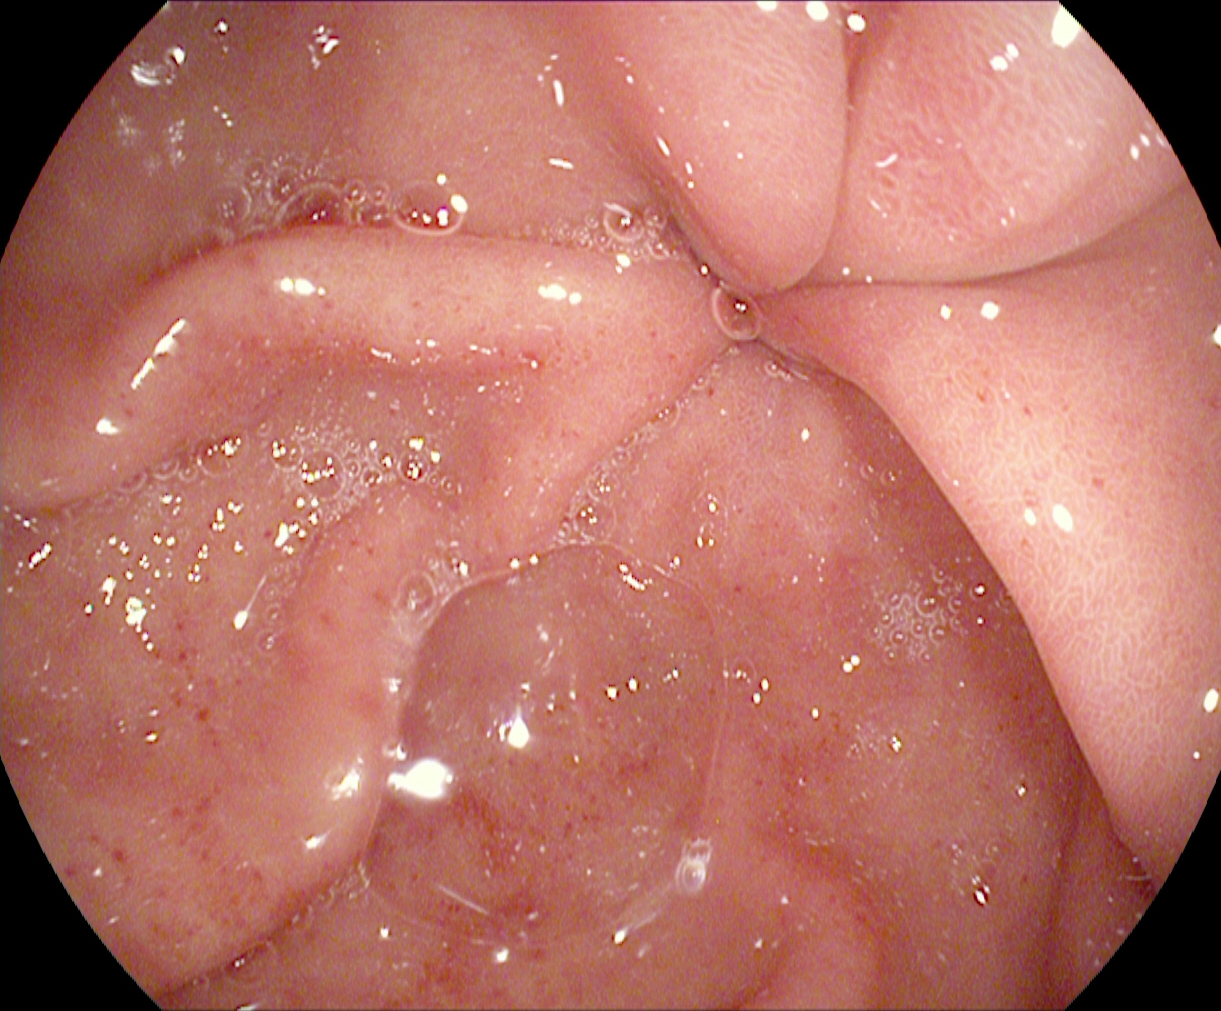Upper-GI endoscopy. Tract: upper GI tract. Anatomical landmark. Finding: pylorus.